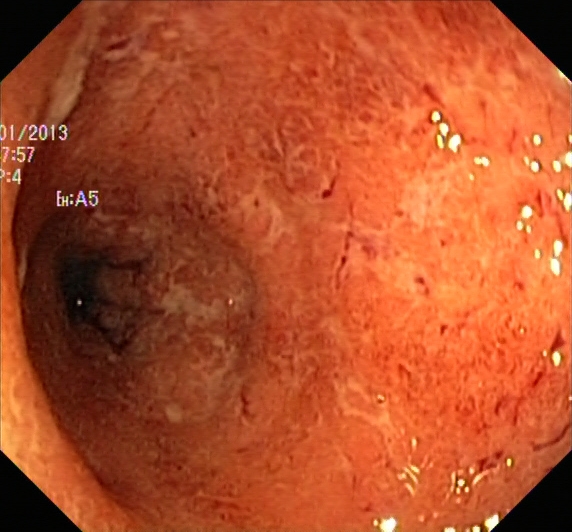Lower-GI endoscopy — ulcerative colitis, Mayo endoscopic subscore 2.